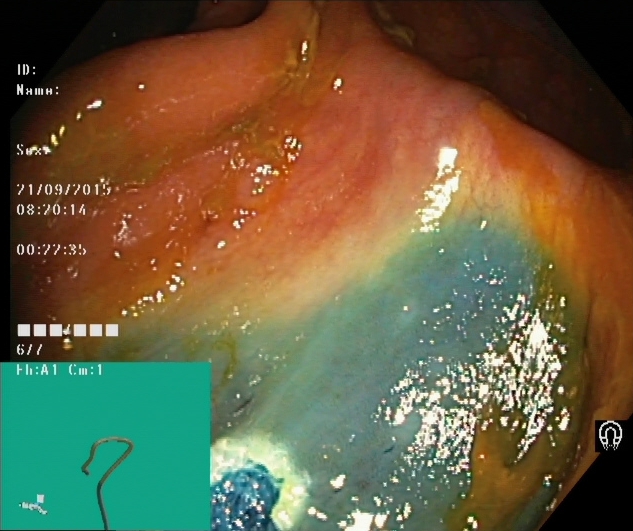Lower gastrointestinal endoscopy. Tract: lower GI tract. Therapeutic intervention. Finding: dyed resection margins (post-polypectomy).